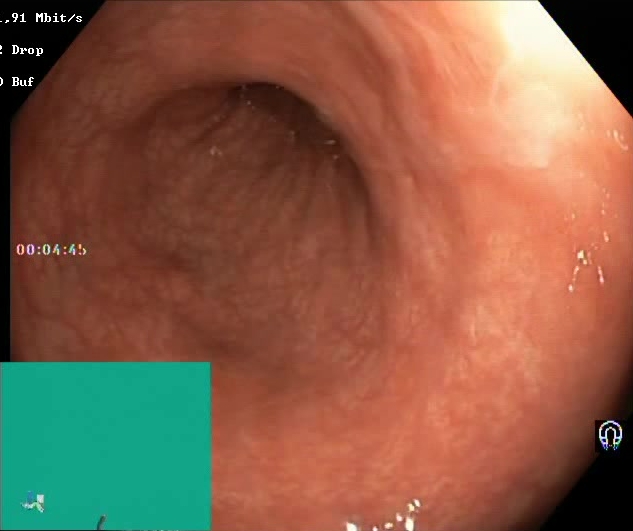BBPS score 2–3 (adequate preparation).